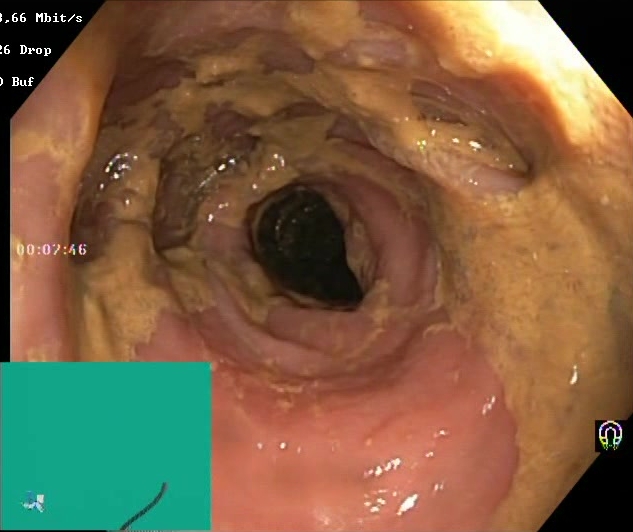Endoscopic frame of the lower GI tract showing Boston Bowel Preparation Scale score 0–1 (inadequate preparation).